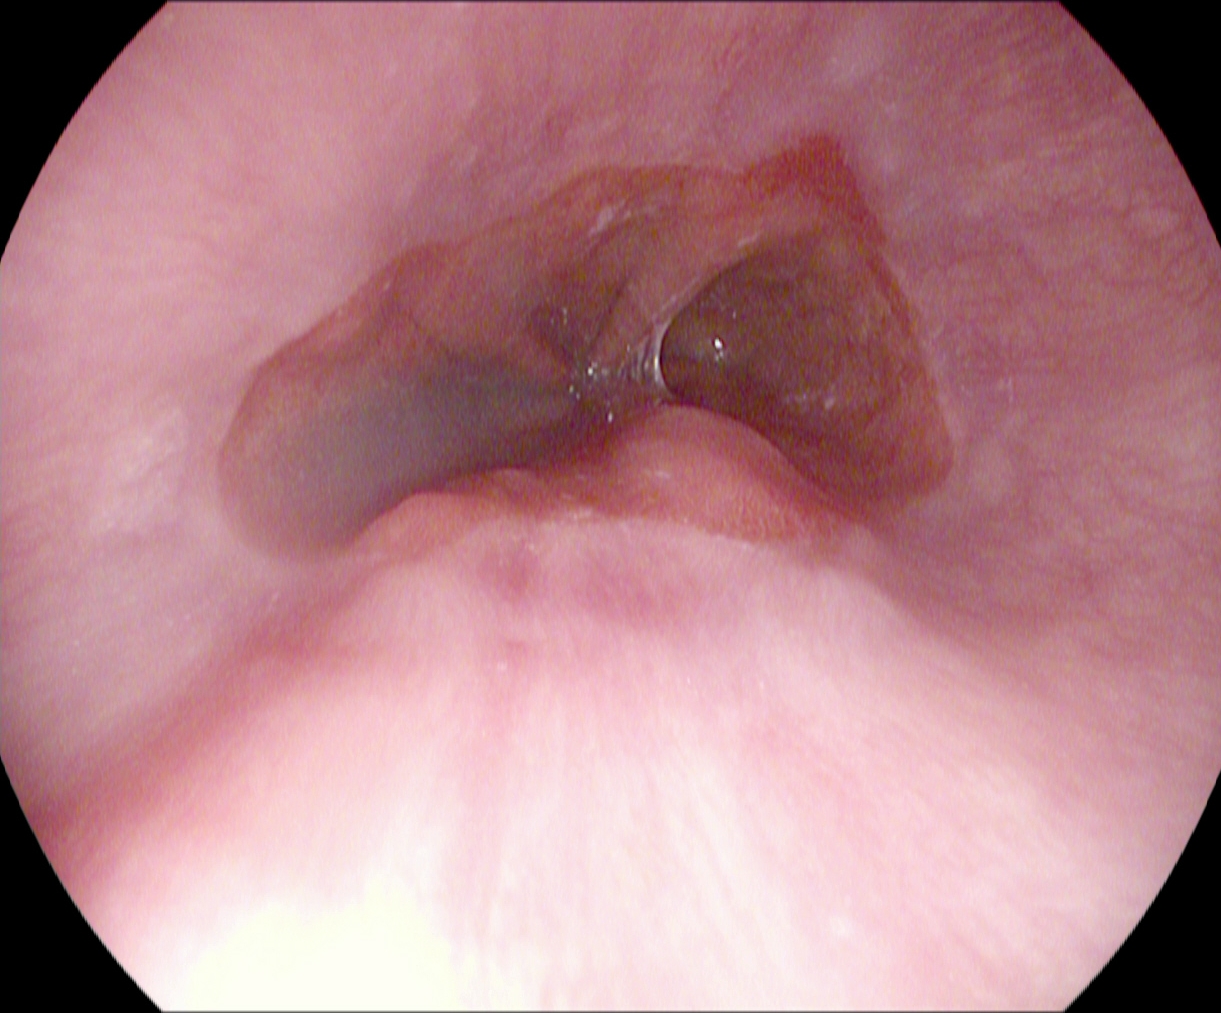Reflux esophagitis, LA grade A.